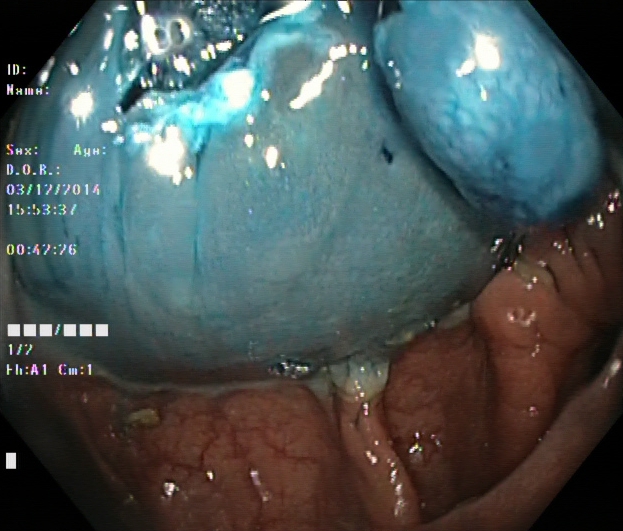Dyed and lifted polyp (pre-resection).